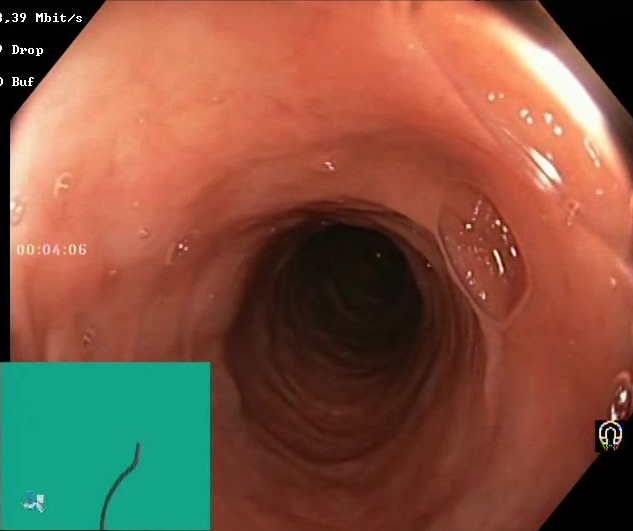Boston Bowel Preparation Scale score 2–3 (adequate preparation).